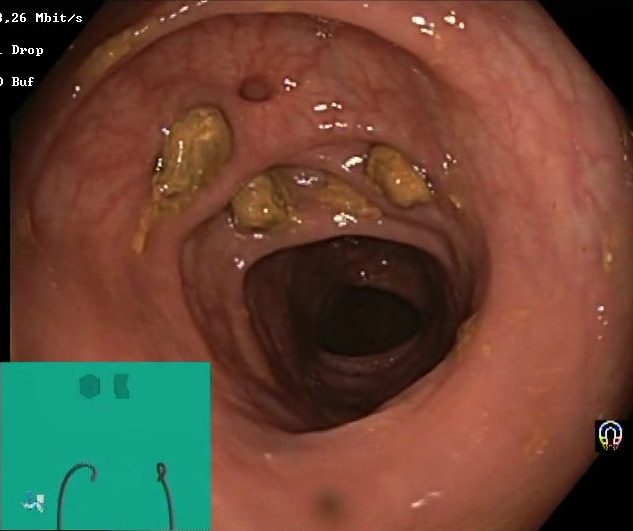Colonoscopy — impacted stool.